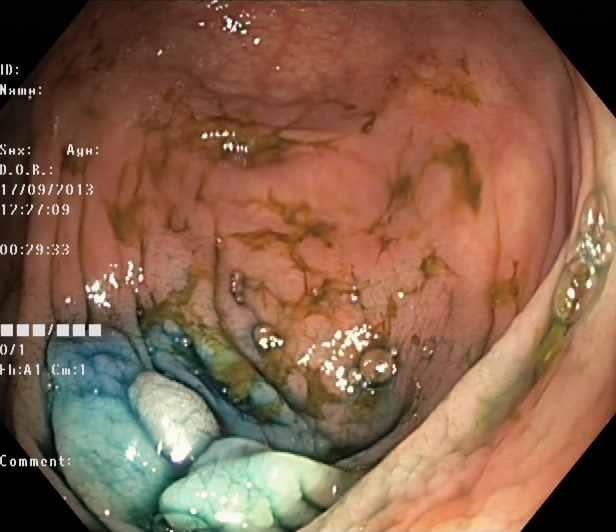Gastrointestinal endoscopy image of the lower GI tract showing dyed and lifted polyp (pre-resection).